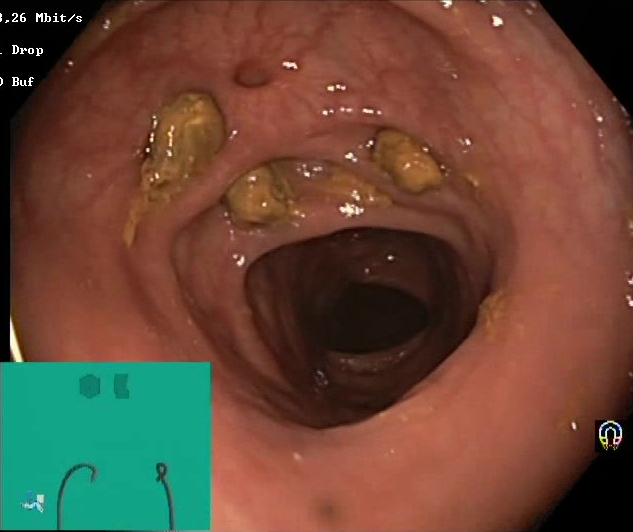PROCEDURE: Colonoscopy.
CATEGORY: Mucosal-view quality.
FINDINGS: Impacted stool.